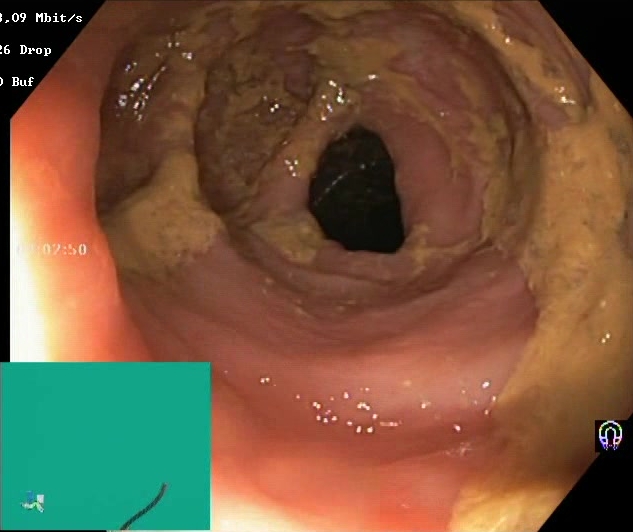PROCEDURE: Lower-GI endoscopy.
FINDINGS: Boston Bowel Preparation Scale score 0–1 (inadequate preparation).